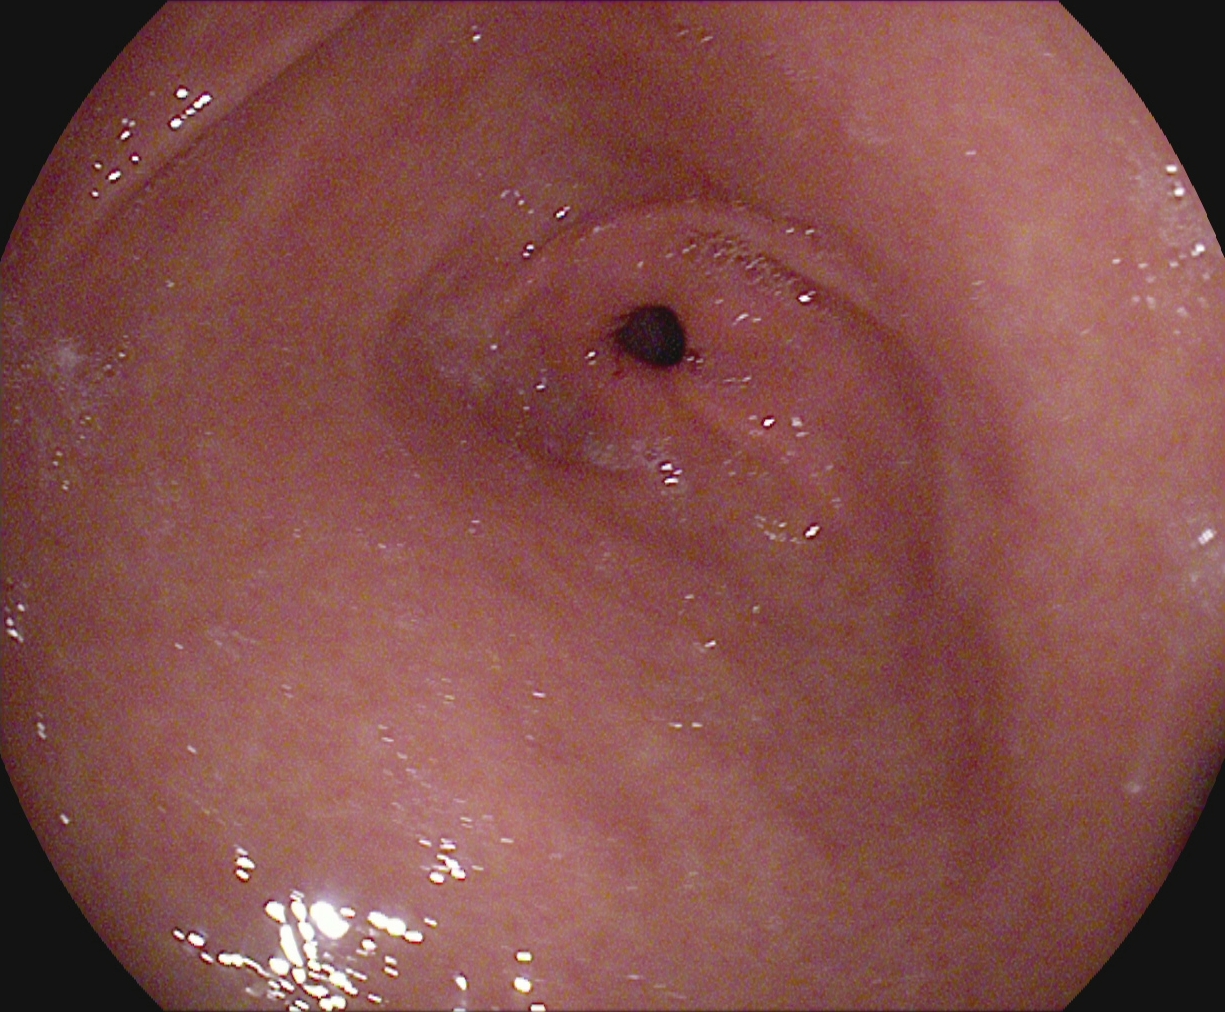This endoscopy frame shows pylorus.